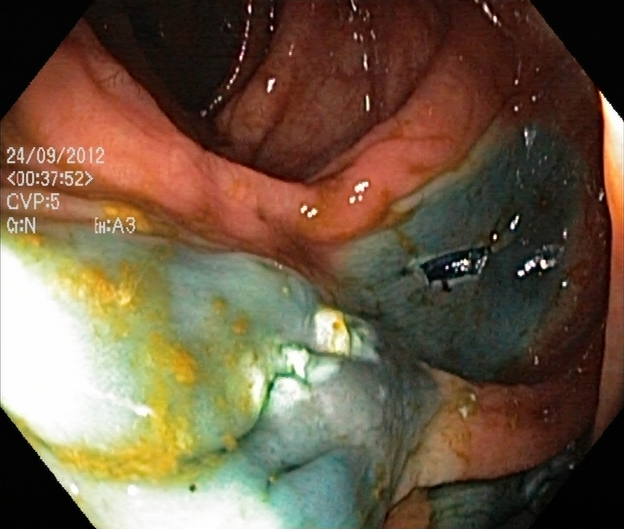Colonoscopy. Tract: lower GI tract. Finding: dyed resection margins (post-polypectomy).